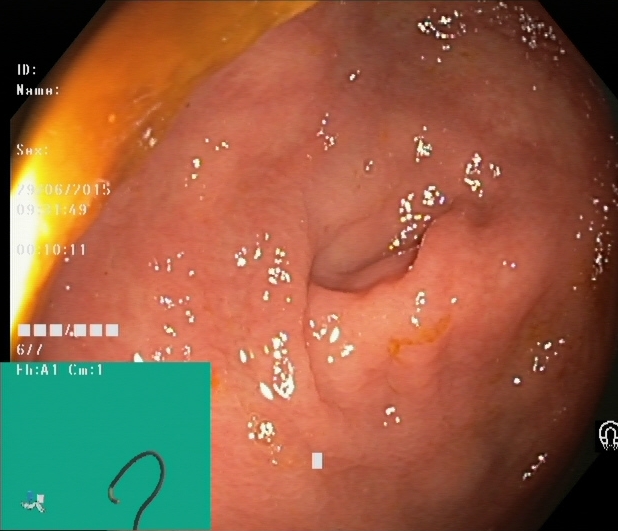PROCEDURE: Colonoscopy.
FINDINGS: Cecum.